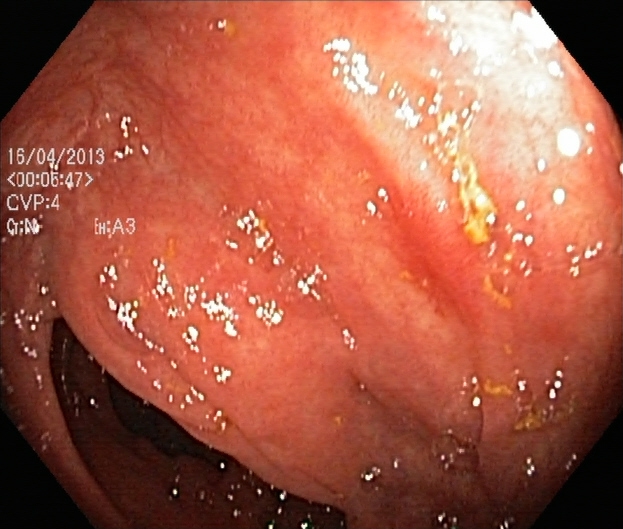Colonoscopy. Pathological finding. Finding: ulcerative colitis, Mayo endoscopic subscore 1.